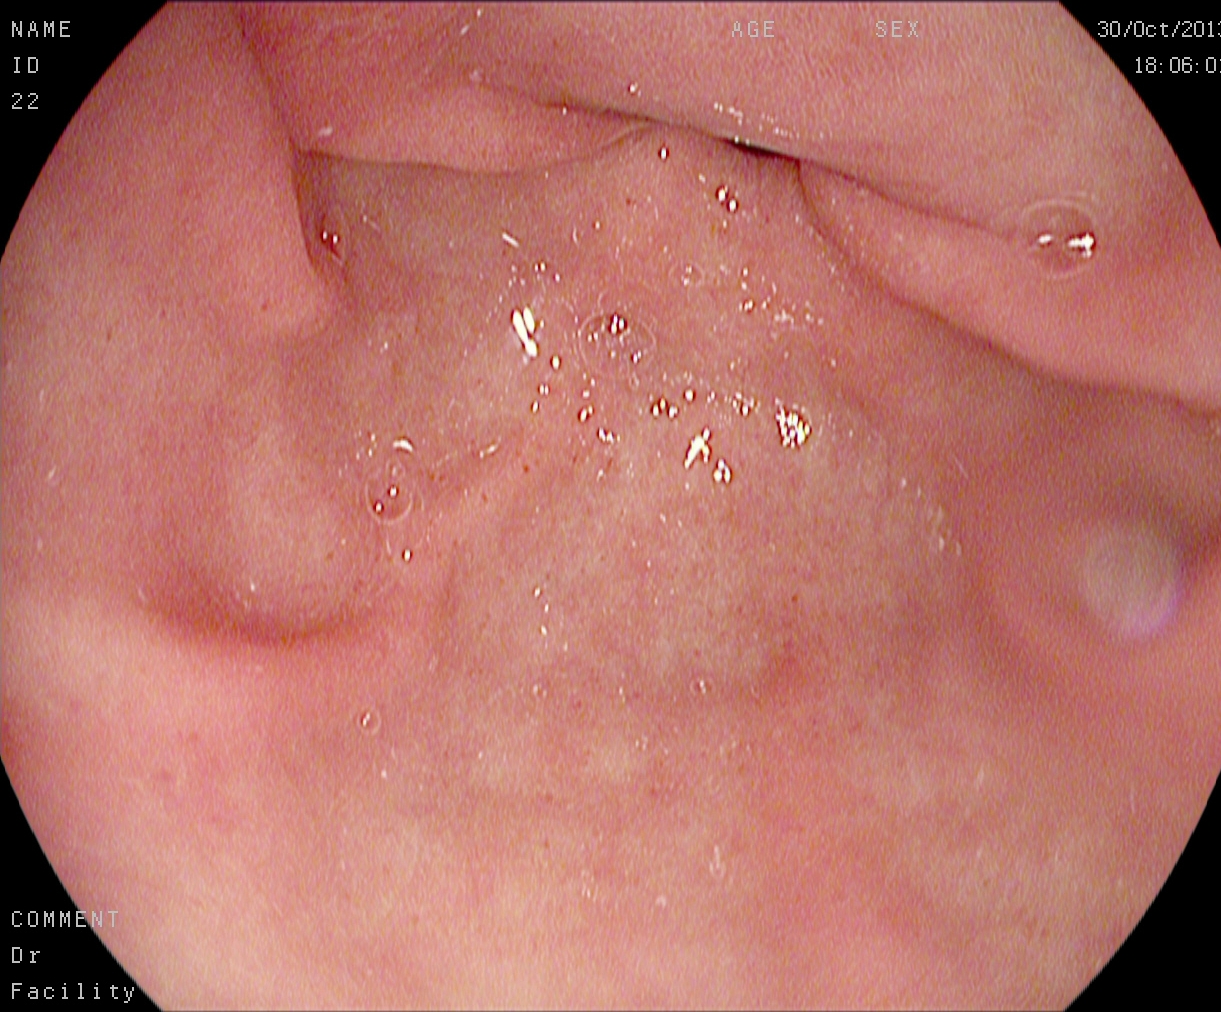This endoscopy frame of the upper GI tract shows pylorus.